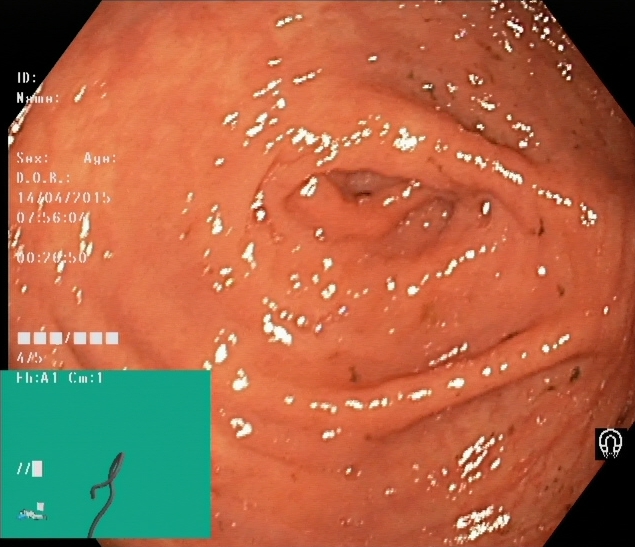Lower-GI endoscopy — cecum.